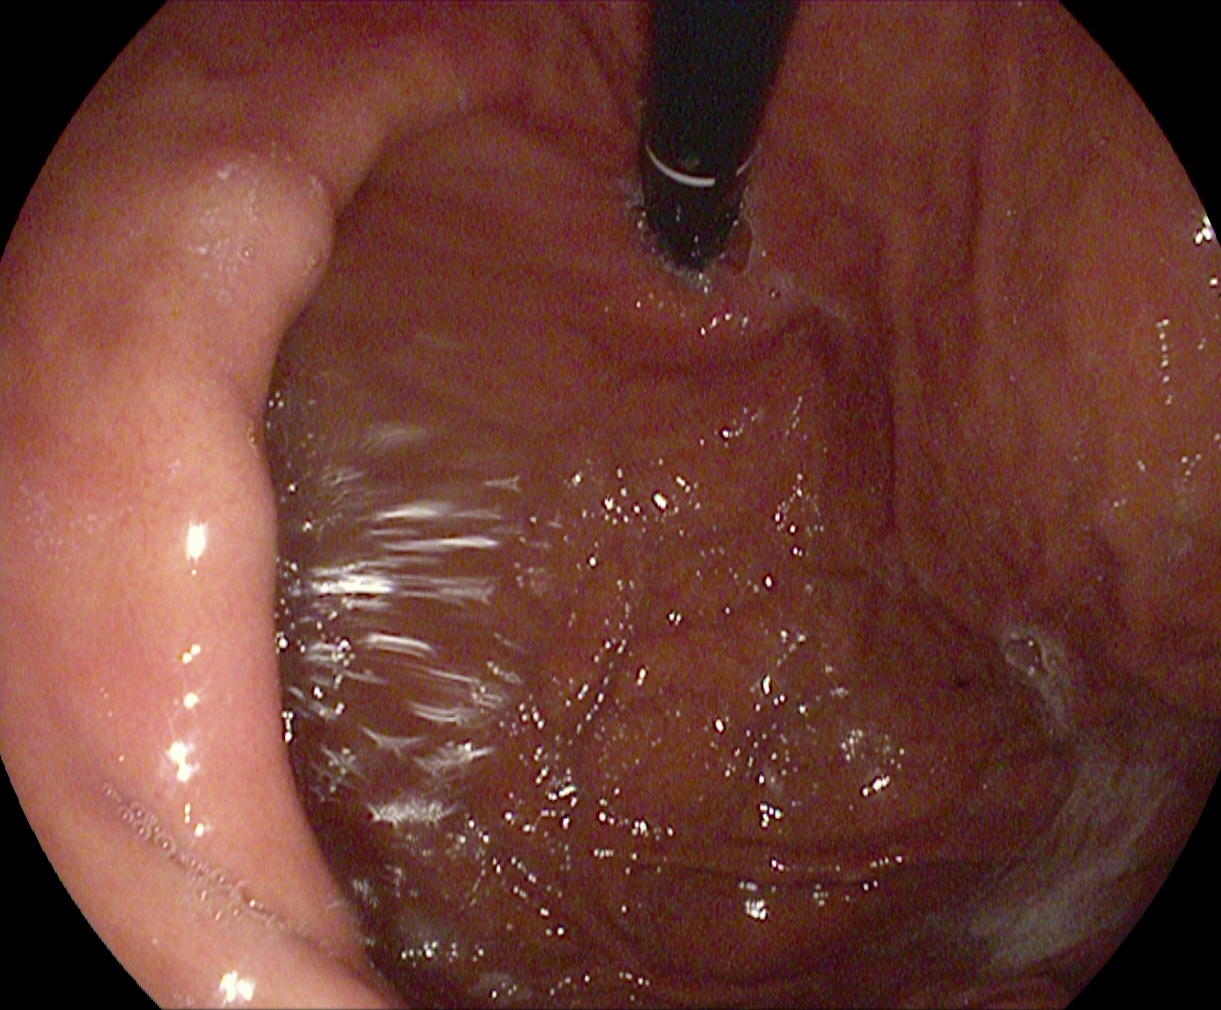{"modality": "EGD", "tract": "upper GI tract", "category": "anatomical landmark", "finding": "stomach in retroflexion"}